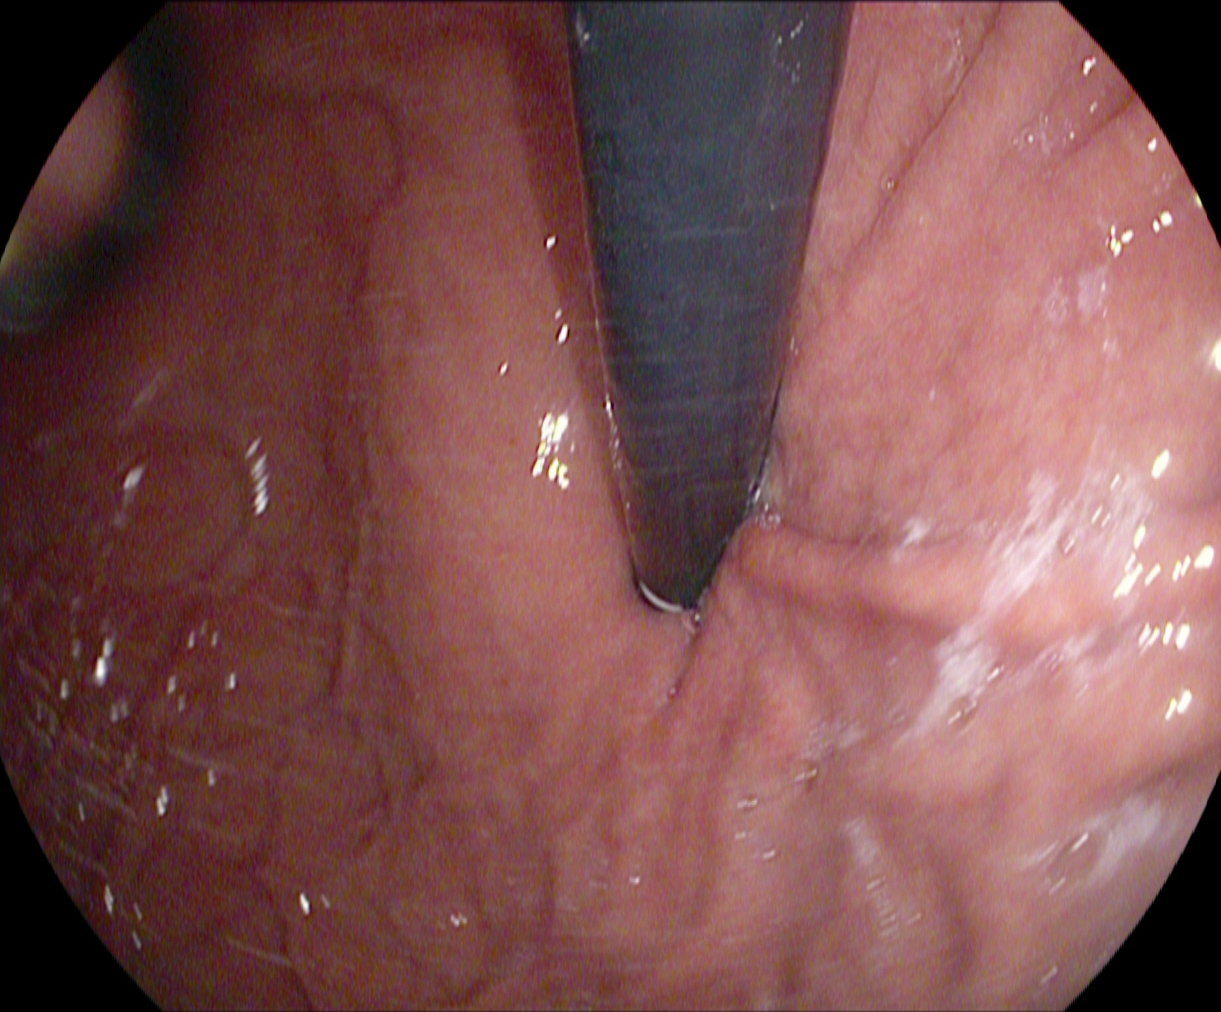modality: gastroscopy
finding: stomach in retroflexion